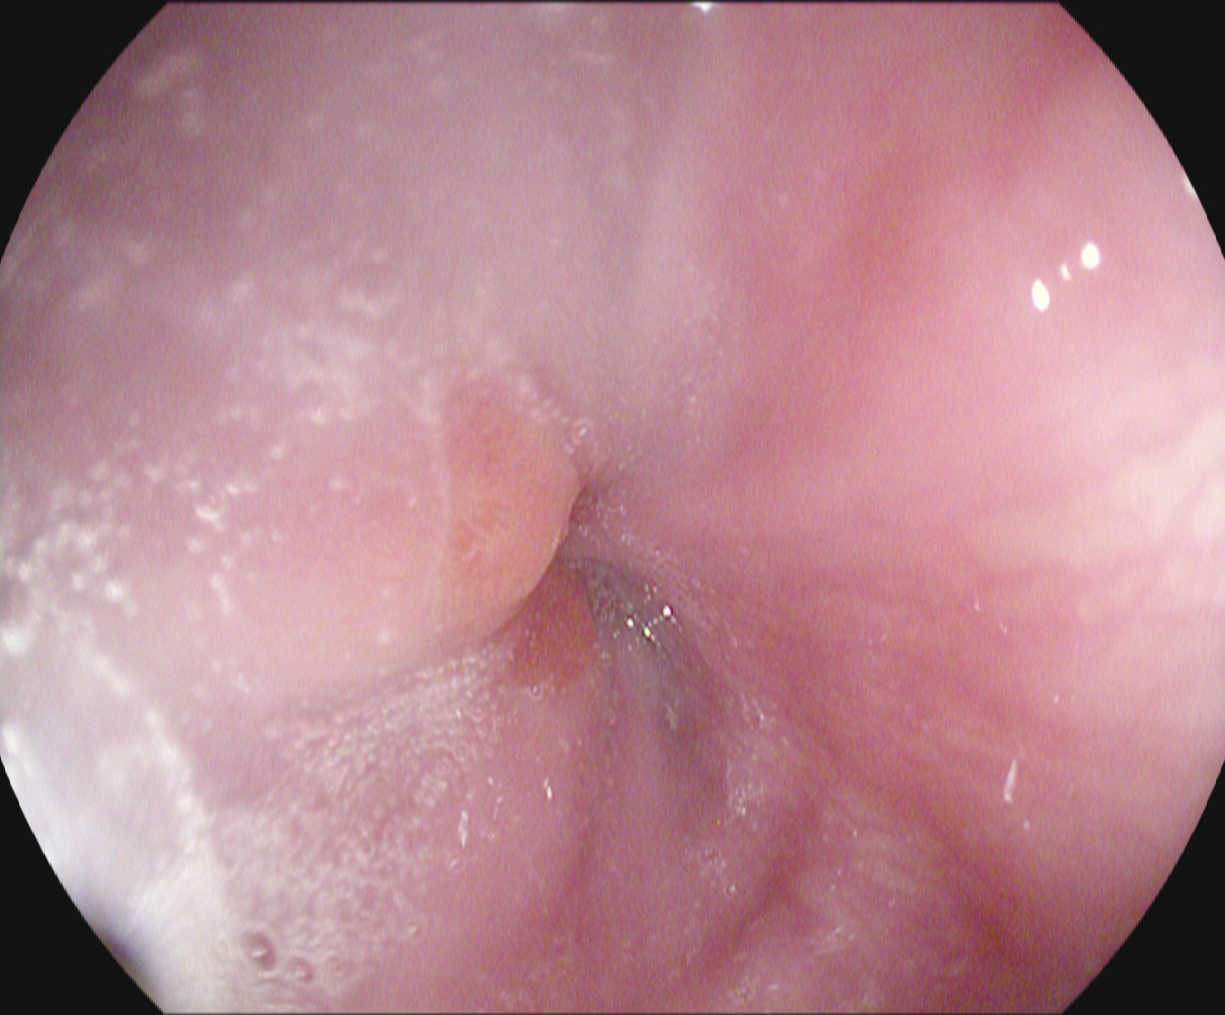{"modality": "EGD", "category": "anatomical landmark", "finding": "Z-line (gastroesophageal junction)"}